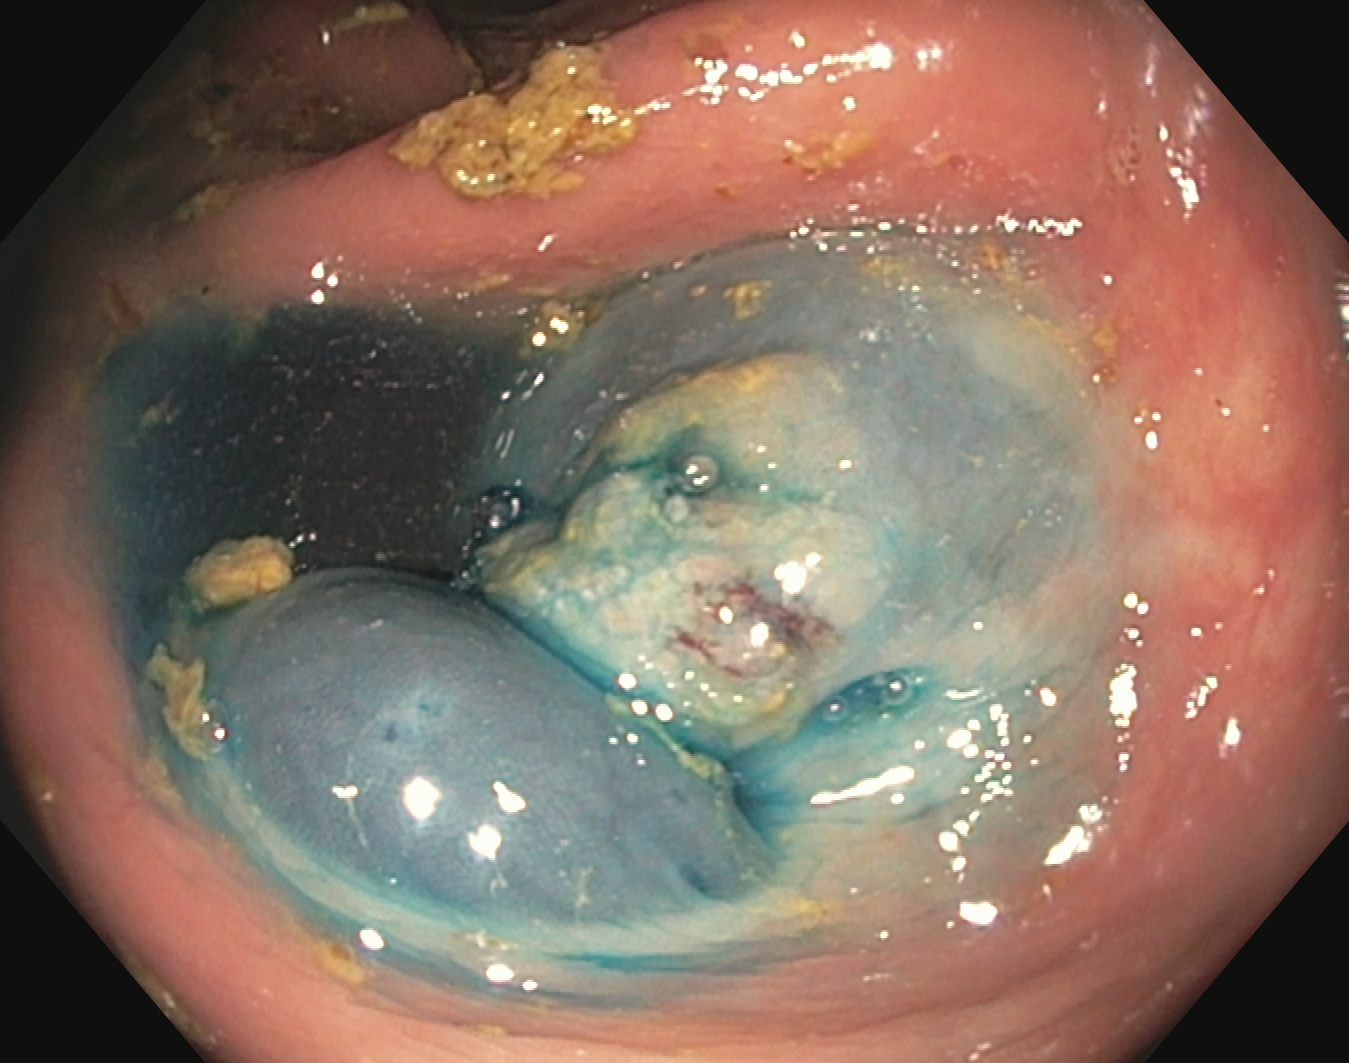Lower gastrointestinal endoscopy. Tract: lower GI tract. Finding: dyed and lifted polyp (pre-resection).